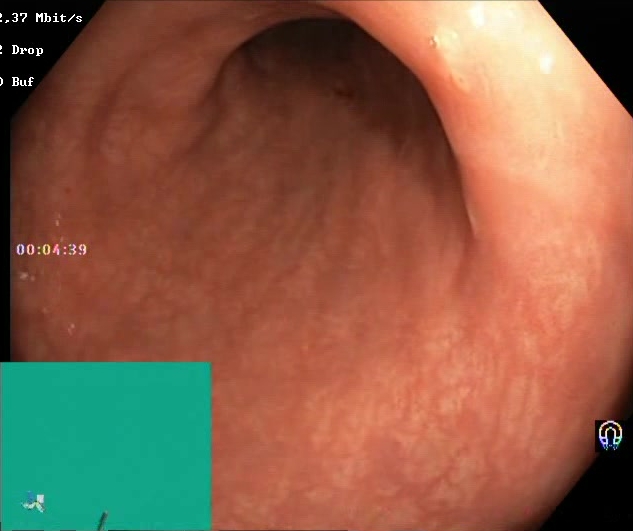Endoscopic frame of the lower GI tract showing Boston Bowel Preparation Scale score 2–3 (adequate preparation).